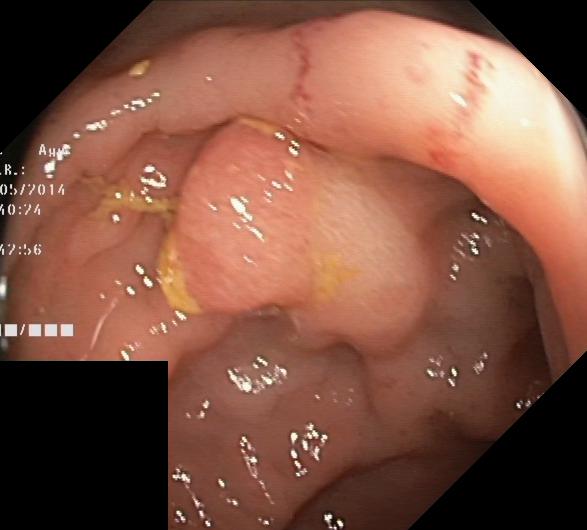modality: colonoscopy
finding: colorectal polyp(s)